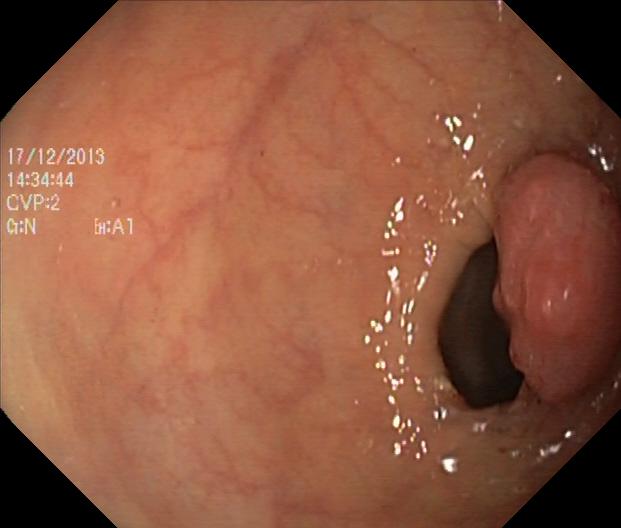Gastrointestinal endoscopy image of the lower GI tract showing colorectal polyp(s).